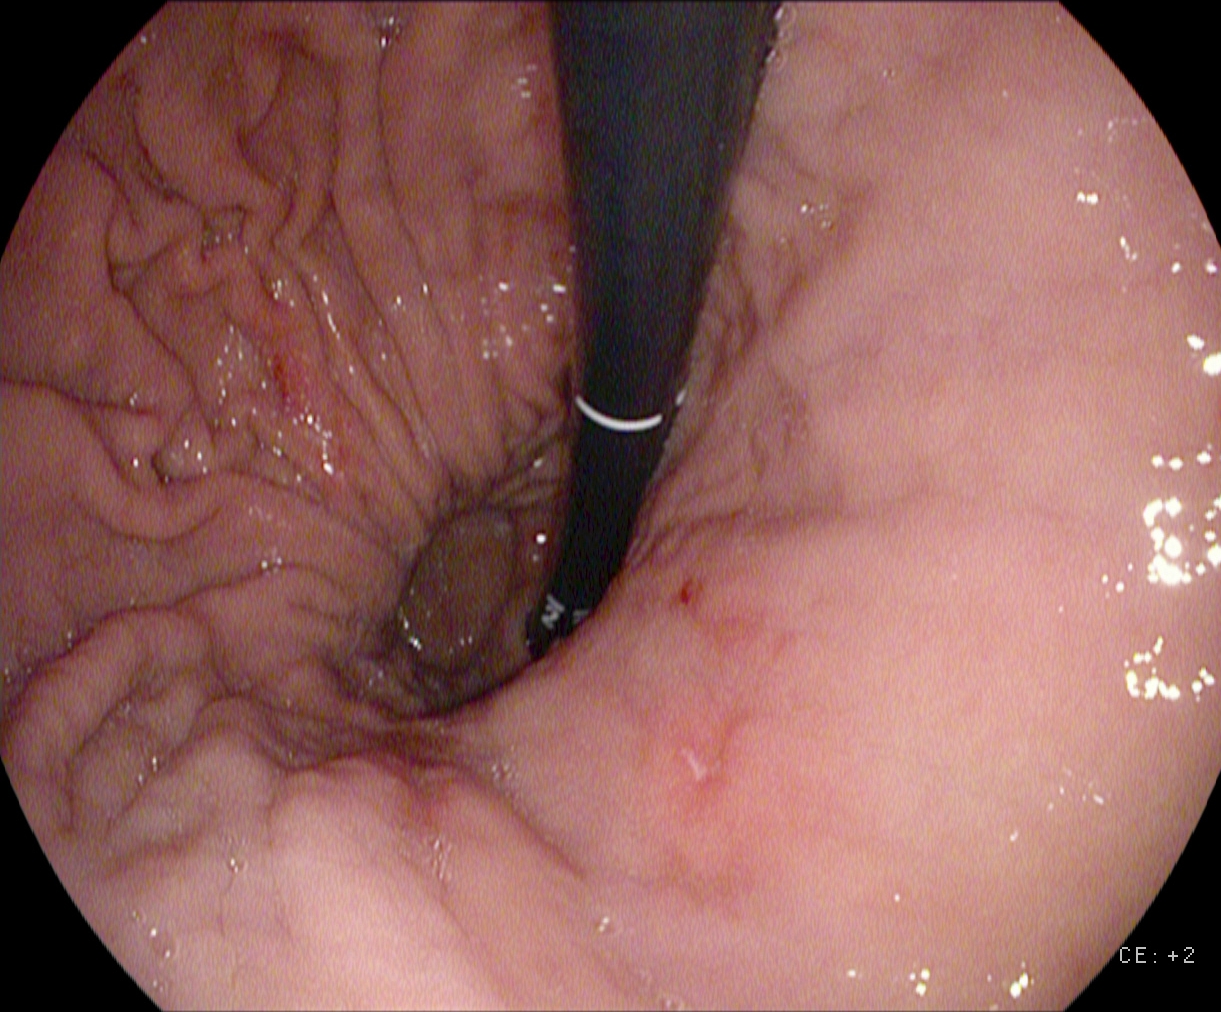Upper-GI endoscopy image of the upper GI tract showing stomach in retroflexion.